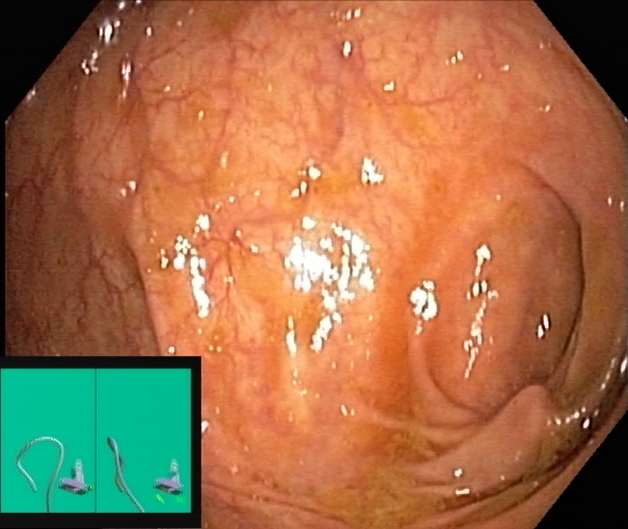PROCEDURE: Lower gastrointestinal endoscopy.
CATEGORY: Anatomical landmark.
FINDINGS: Cecum.